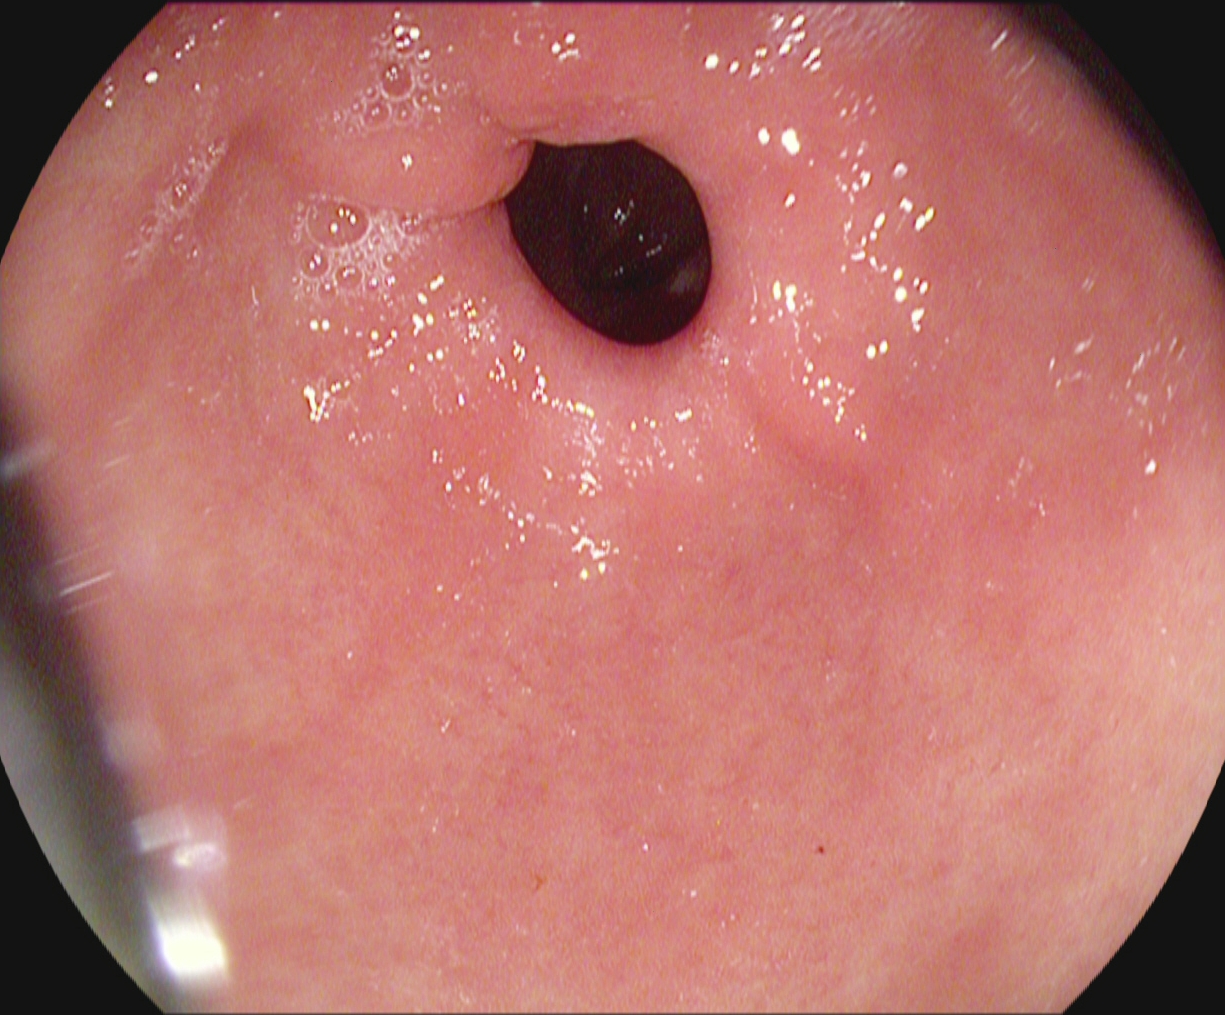Upper-GI endoscopy — pylorus.